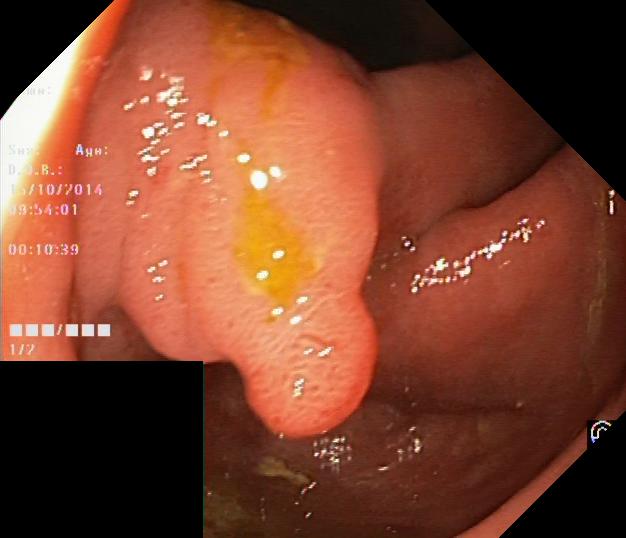Gastrointestinal endoscopy image of the lower GI tract showing colorectal polyp(s).